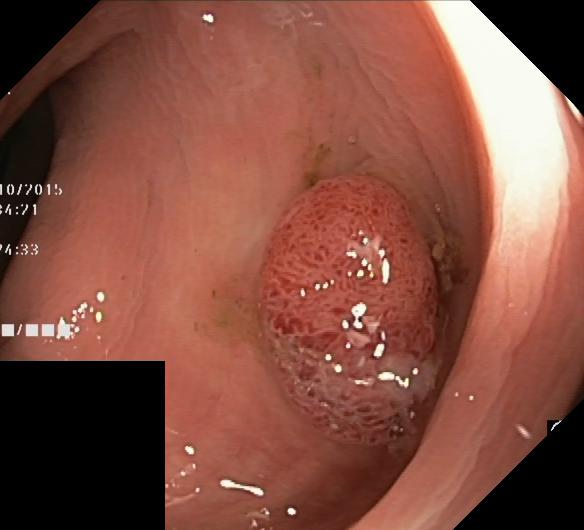Endoscopic image showing colorectal polyp(s).